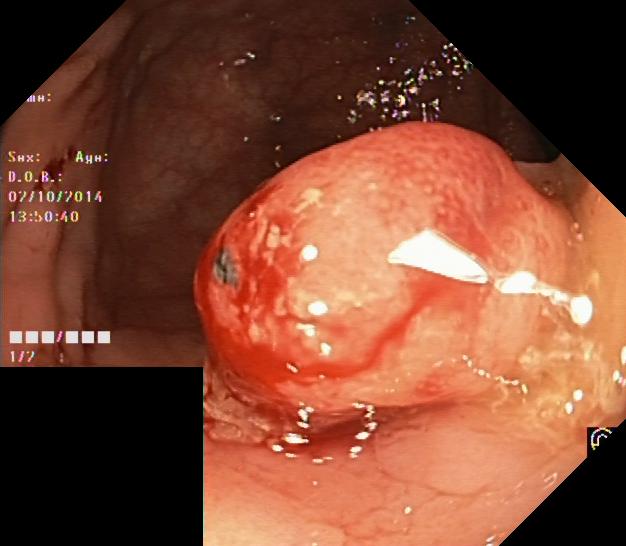Colorectal polyp(s).